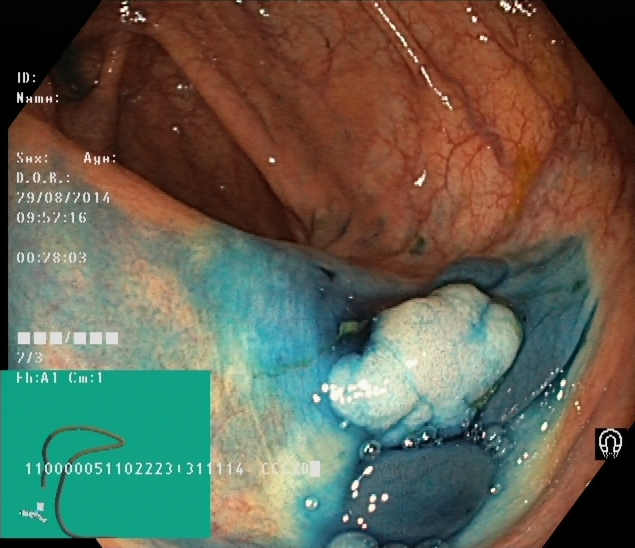modality: colonoscopy | tract: lower GI tract | category: therapeutic intervention | finding: dyed and lifted polyp (pre-resection)